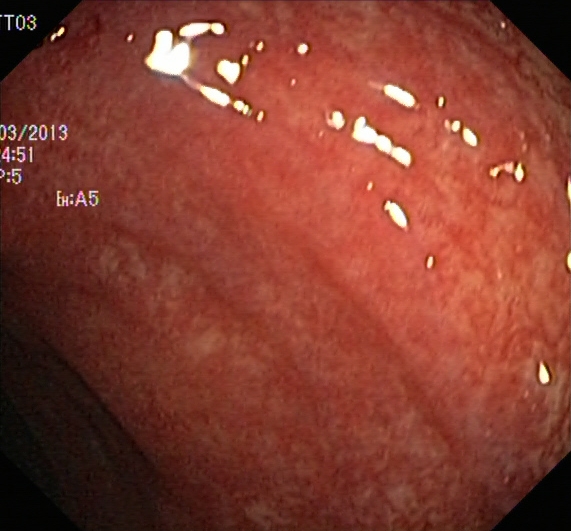GI endoscopy image showing UC, Mayo endoscopic subscore 1.